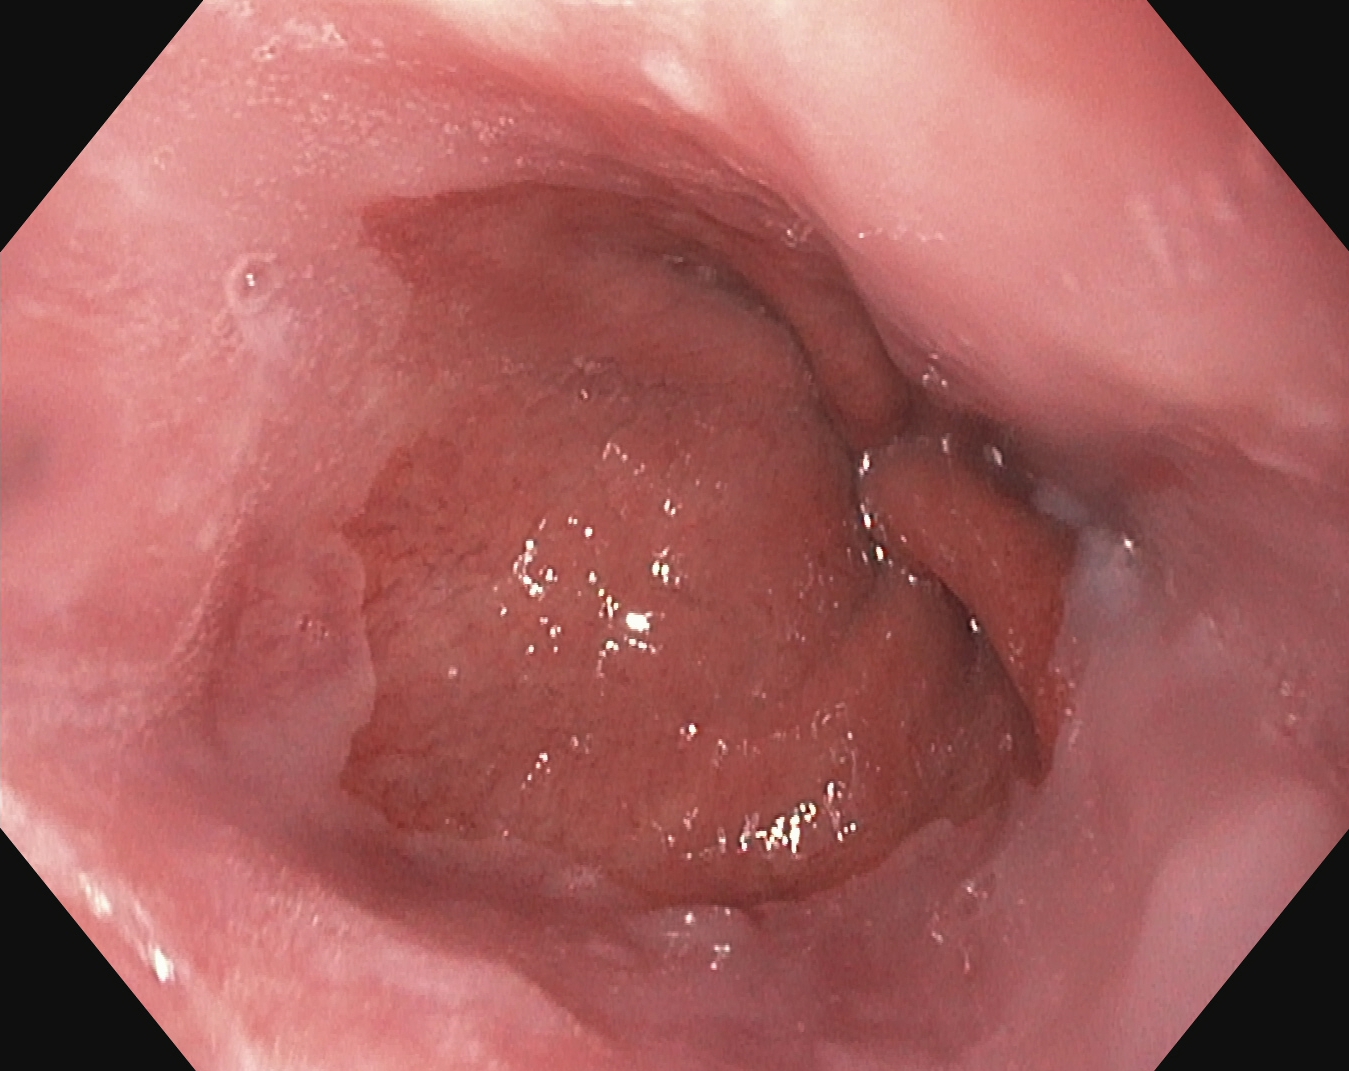Upper-GI endoscopy. Anatomical landmark. Finding: Z-line (gastroesophageal junction).